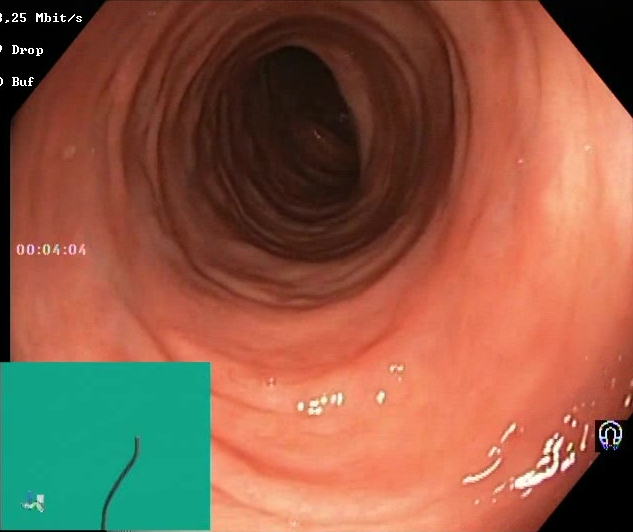Lower-GI endoscopy — Boston Bowel Preparation Scale score 2–3 (adequate preparation).